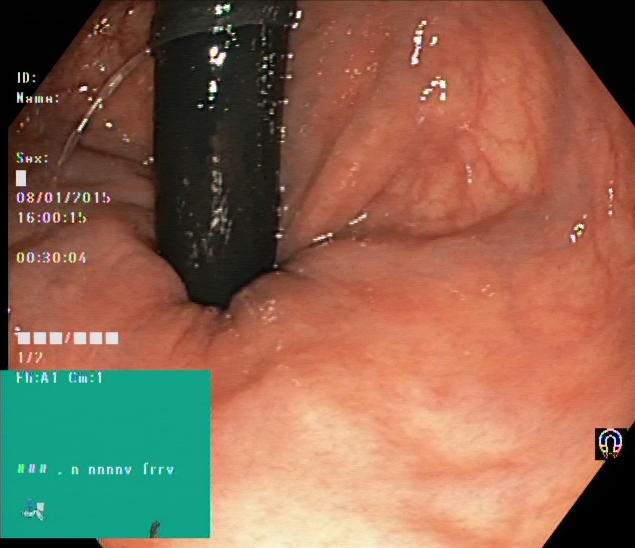PROCEDURE: Lower gastrointestinal endoscopy.
FINDINGS: Rectum in retroflexion.